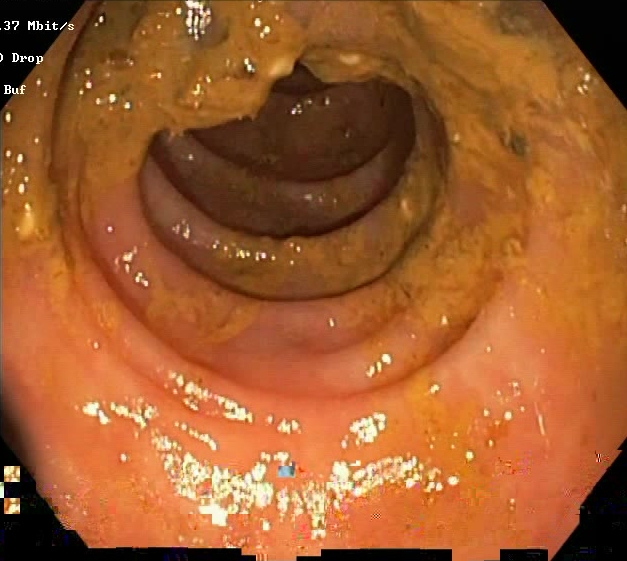{"modality": "colonoscopy", "finding": "Boston Bowel Preparation Scale score 0\u20131 (inadequate preparation)"}